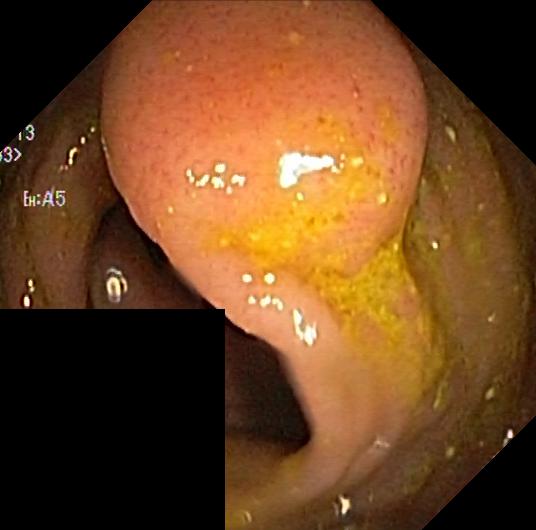Colorectal polyp(s).